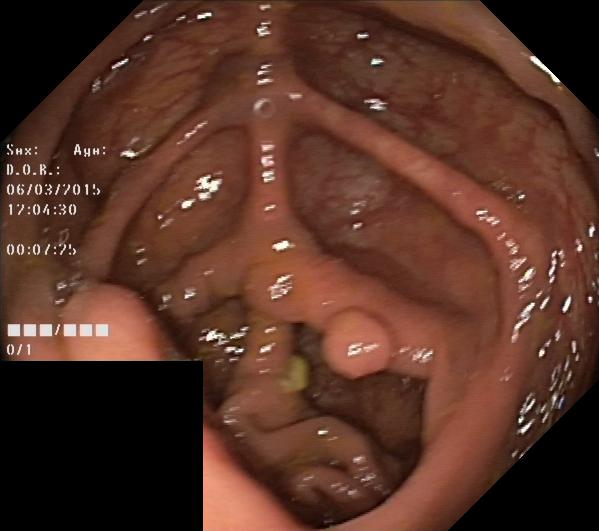Lower-GI endoscopy. Tract: lower GI tract. Finding: colorectal polyp(s).